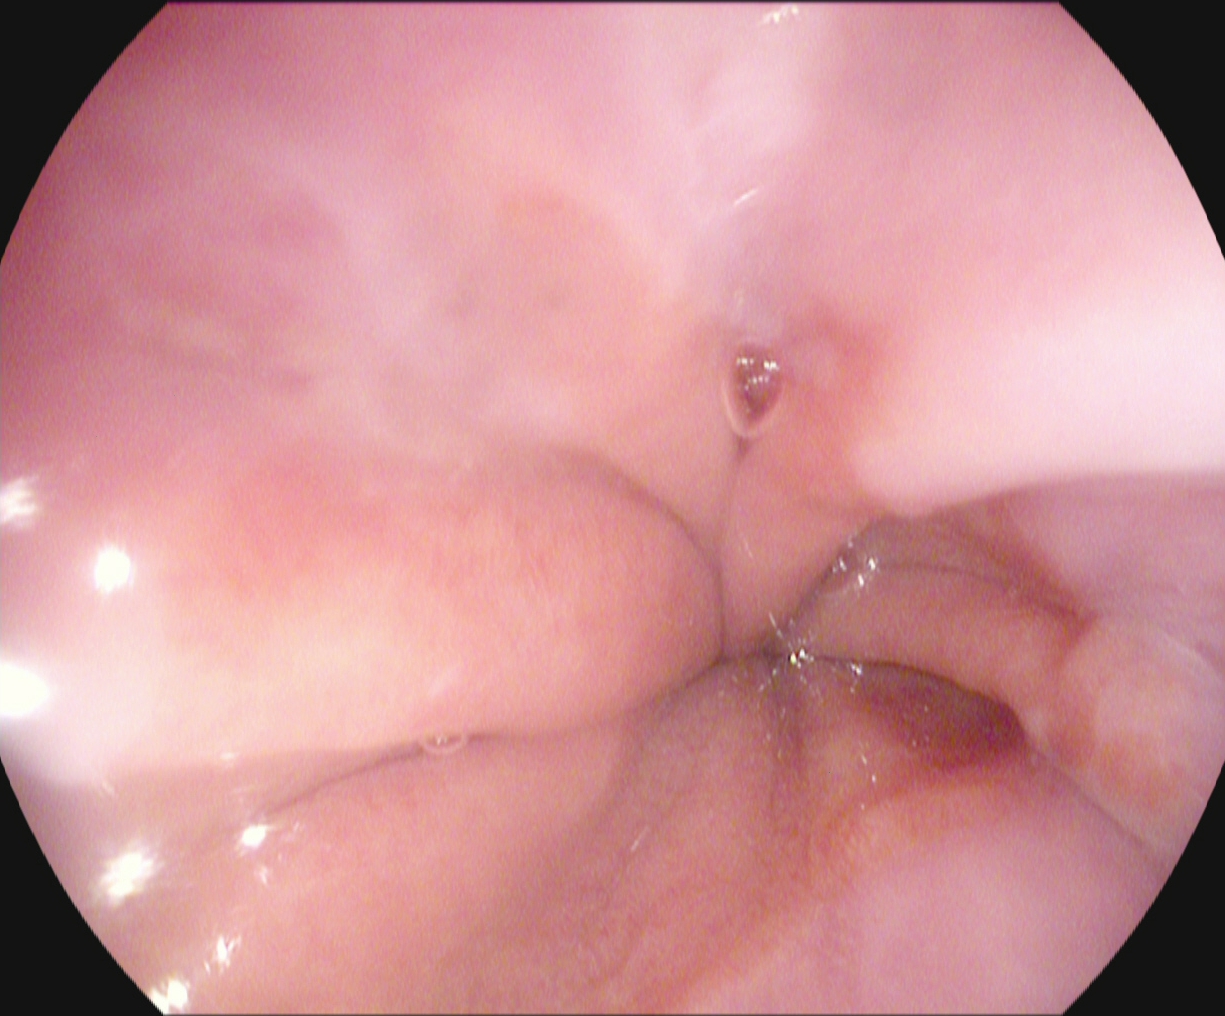modality: esophagogastroduodenoscopy | tract: upper GI tract | category: anatomical landmark | finding: Z-line (gastroesophageal junction)